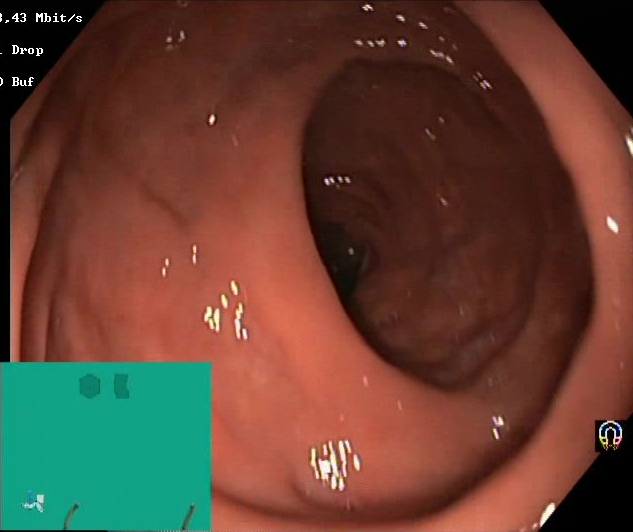Endoscopy image of the lower GI tract showing Boston Bowel Preparation Scale score 2–3 (adequate preparation).